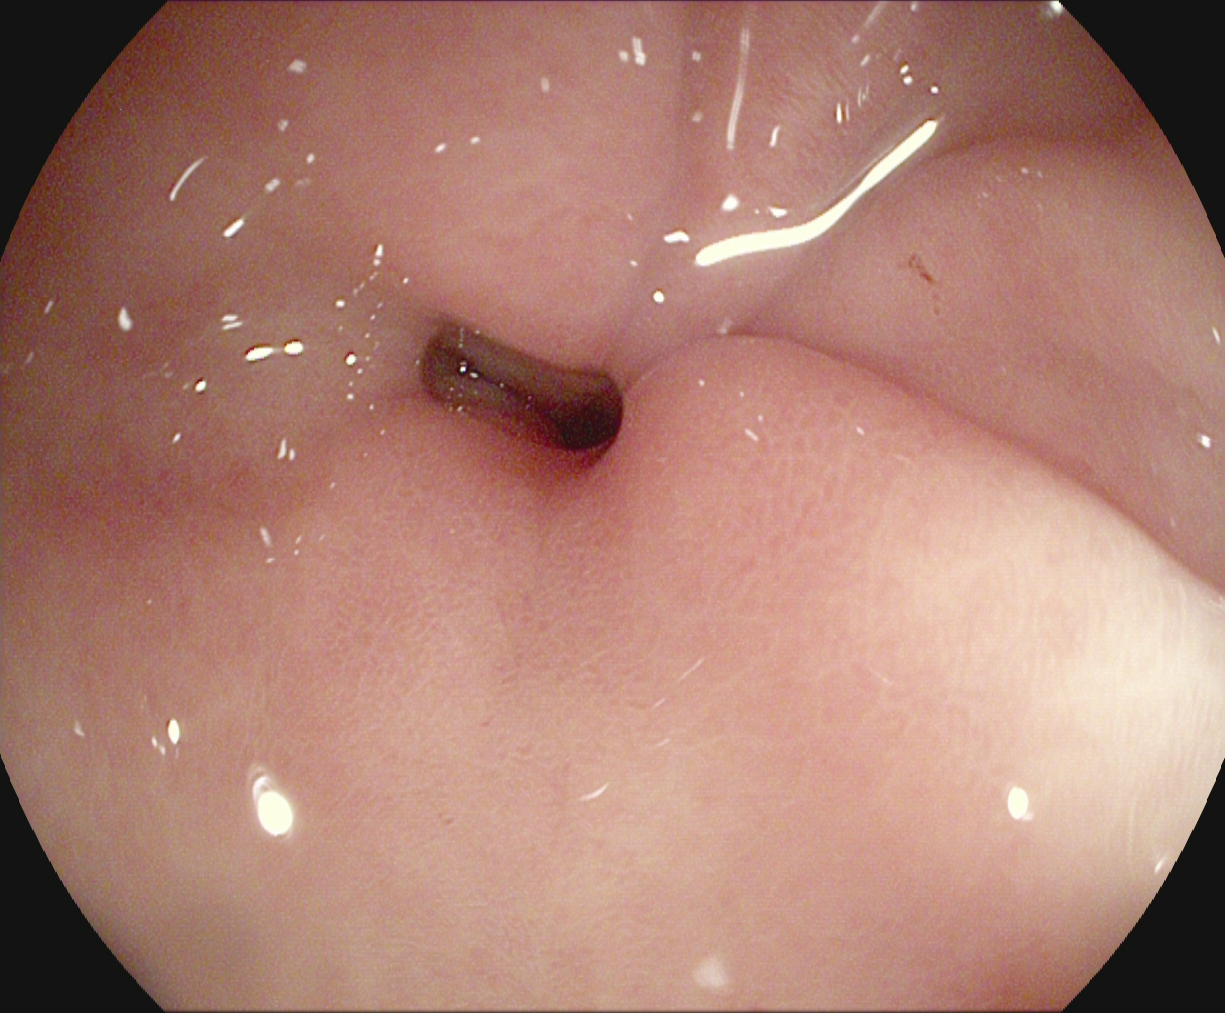EGD image showing pylorus.